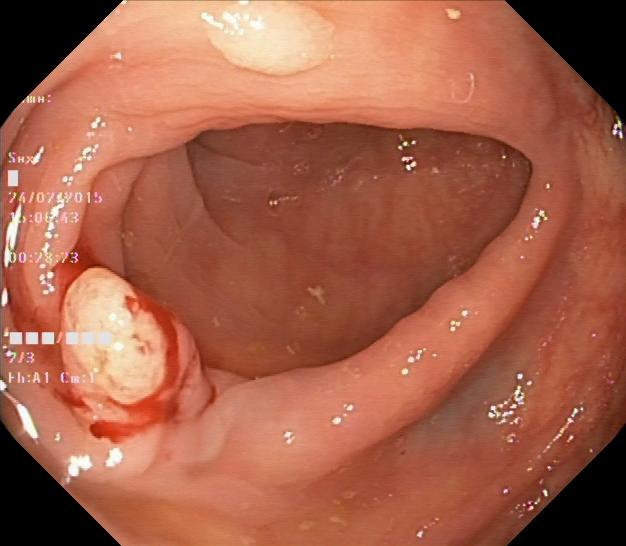Lower-GI endoscopy. Finding: colorectal polyp(s).